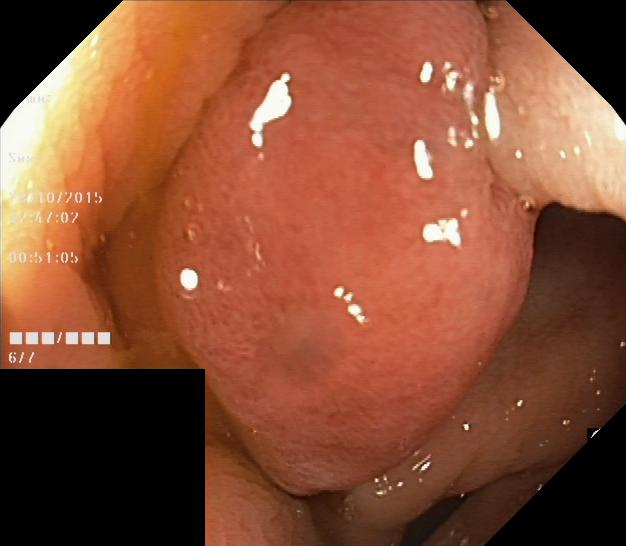modality: colonoscopy | tract: lower GI tract | finding: colorectal polyp(s)